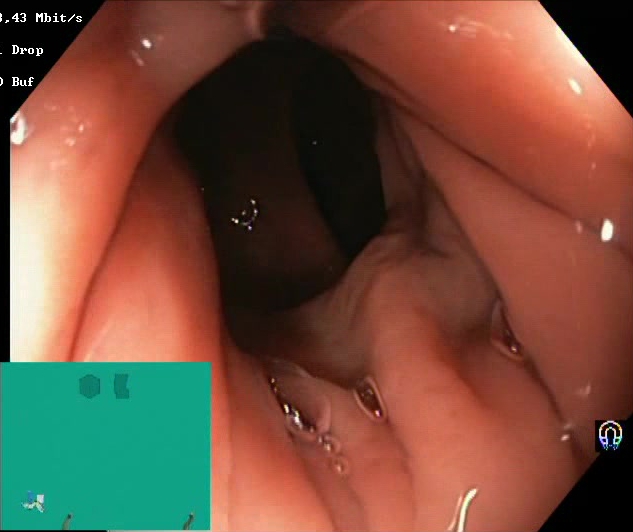{"modality": "lower gastrointestinal endoscopy", "finding": "Boston Bowel Preparation Scale score 2\u20133 (adequate preparation)"}